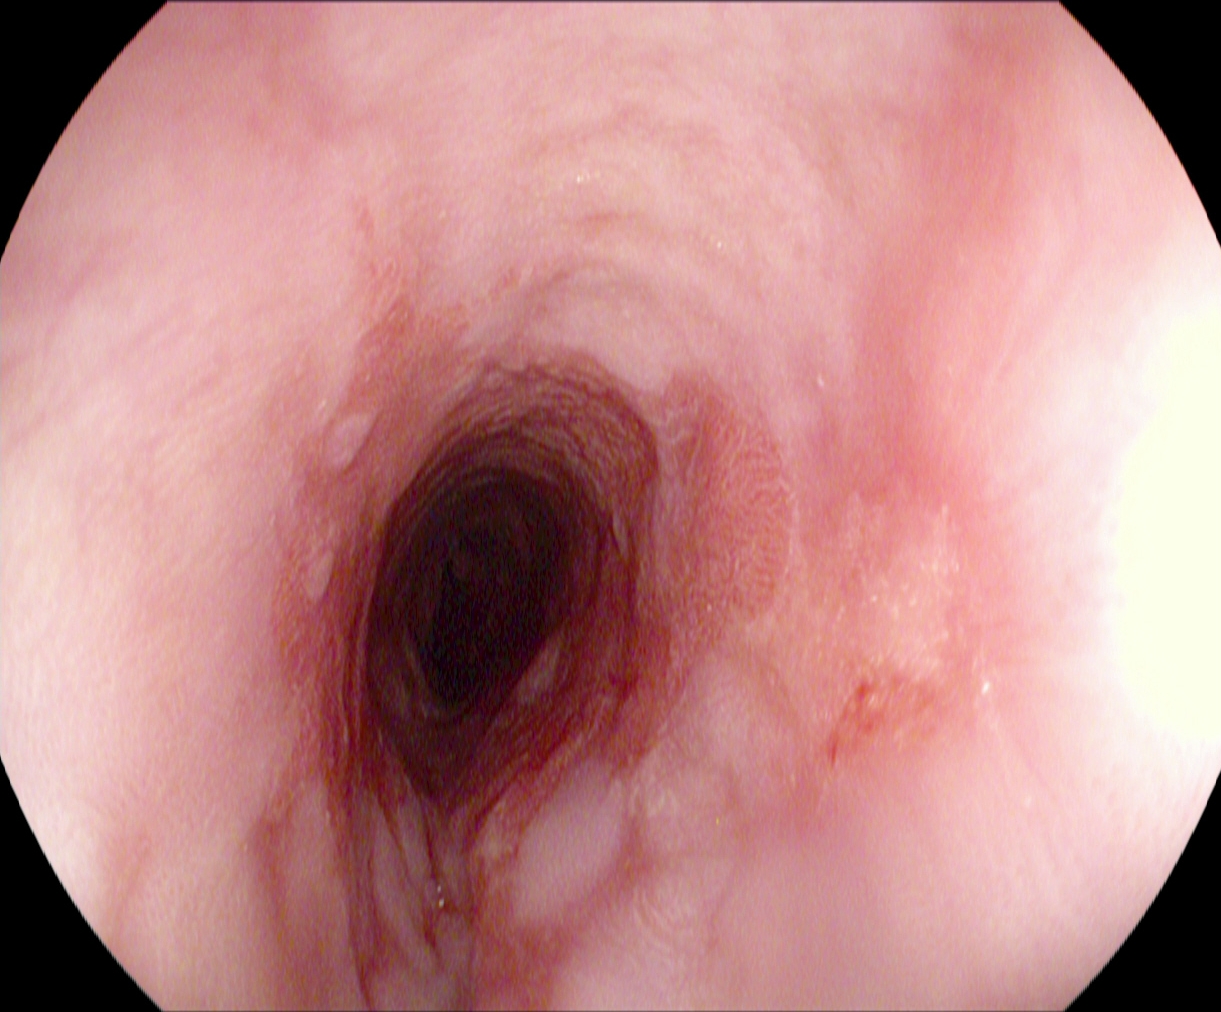PROCEDURE: Esophagogastroduodenoscopy.
FINDINGS: Barrett's esophagus.